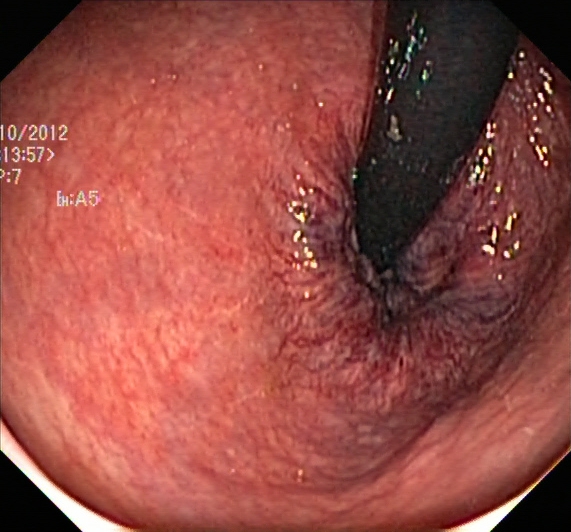Rectum in retroflexion.